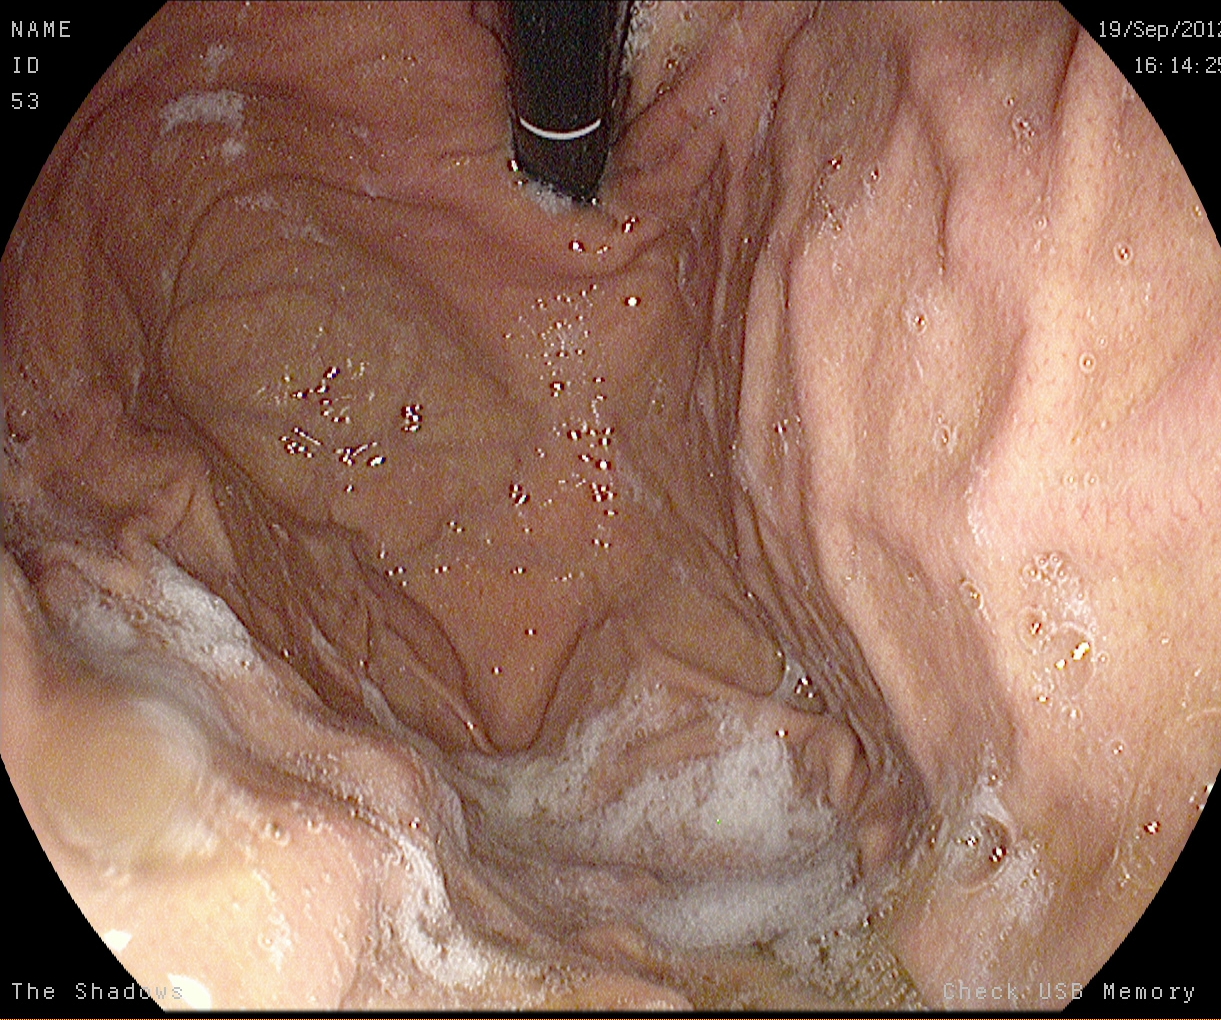{"modality": "esophagogastroduodenoscopy", "finding": "stomach in retroflexion"}